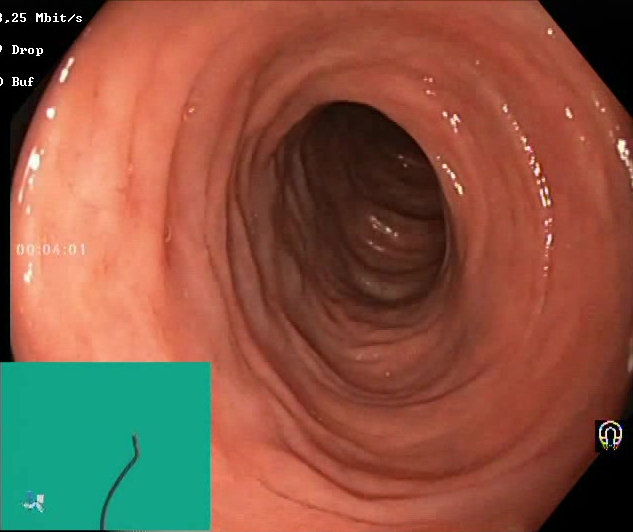Boston Bowel Preparation Scale score 2–3 (adequate preparation).